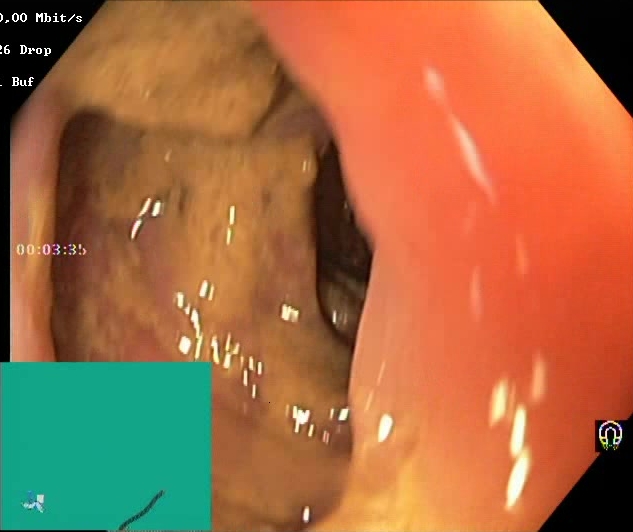PROCEDURE: Lower gastrointestinal endoscopy.
CATEGORY: Mucosal-view quality.
FINDINGS: Boston Bowel Preparation Scale score 0–1 (inadequate preparation).